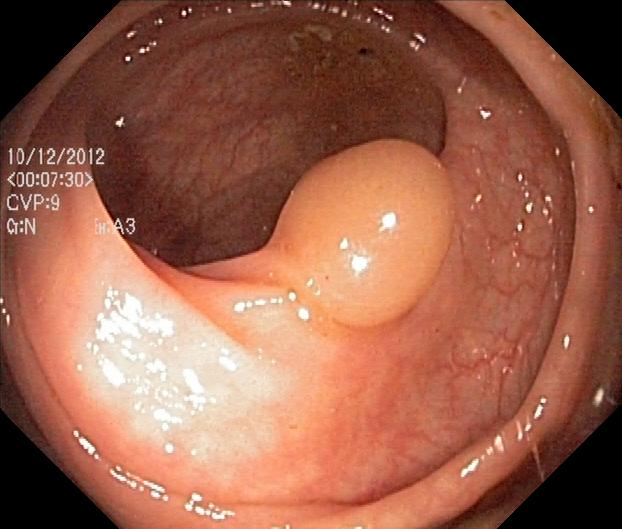PROCEDURE: Colonoscopy.
FINDINGS: Colorectal polyp(s).